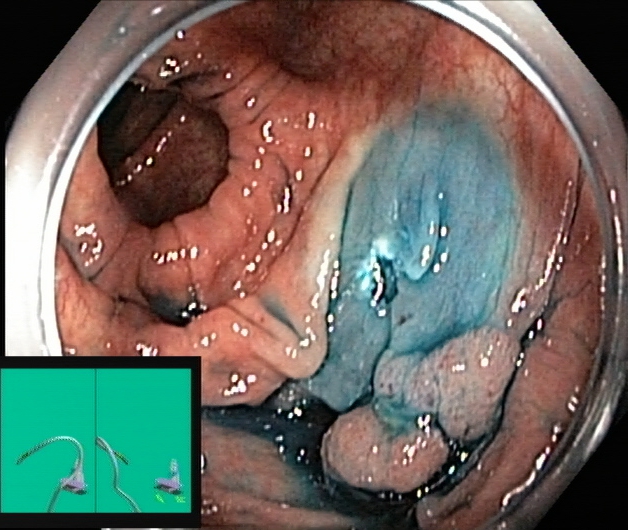dyed and lifted polyp (pre-resection).